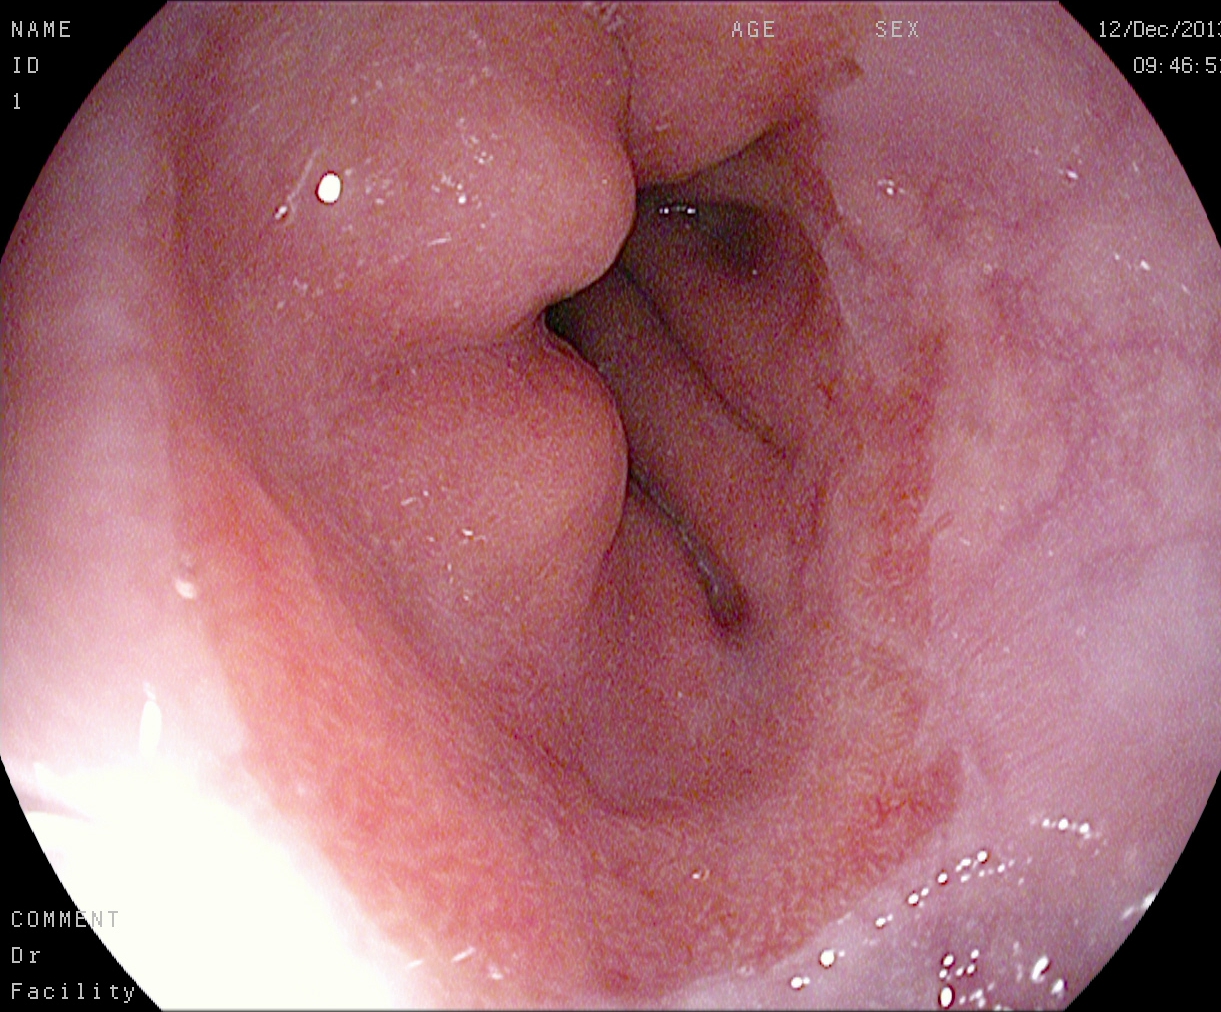Z-line (gastroesophageal junction).